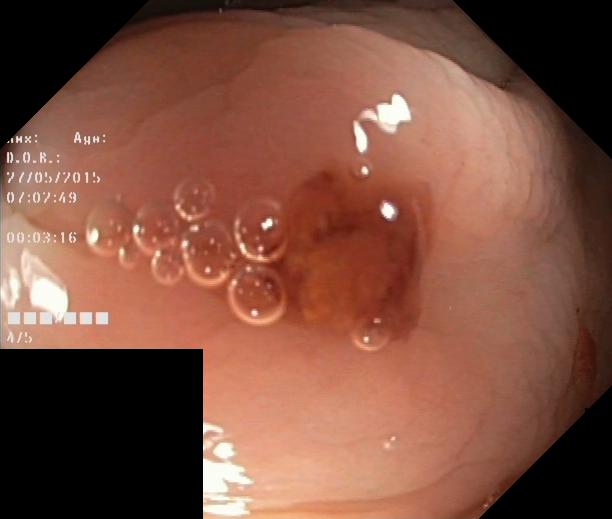colorectal polyp(s).